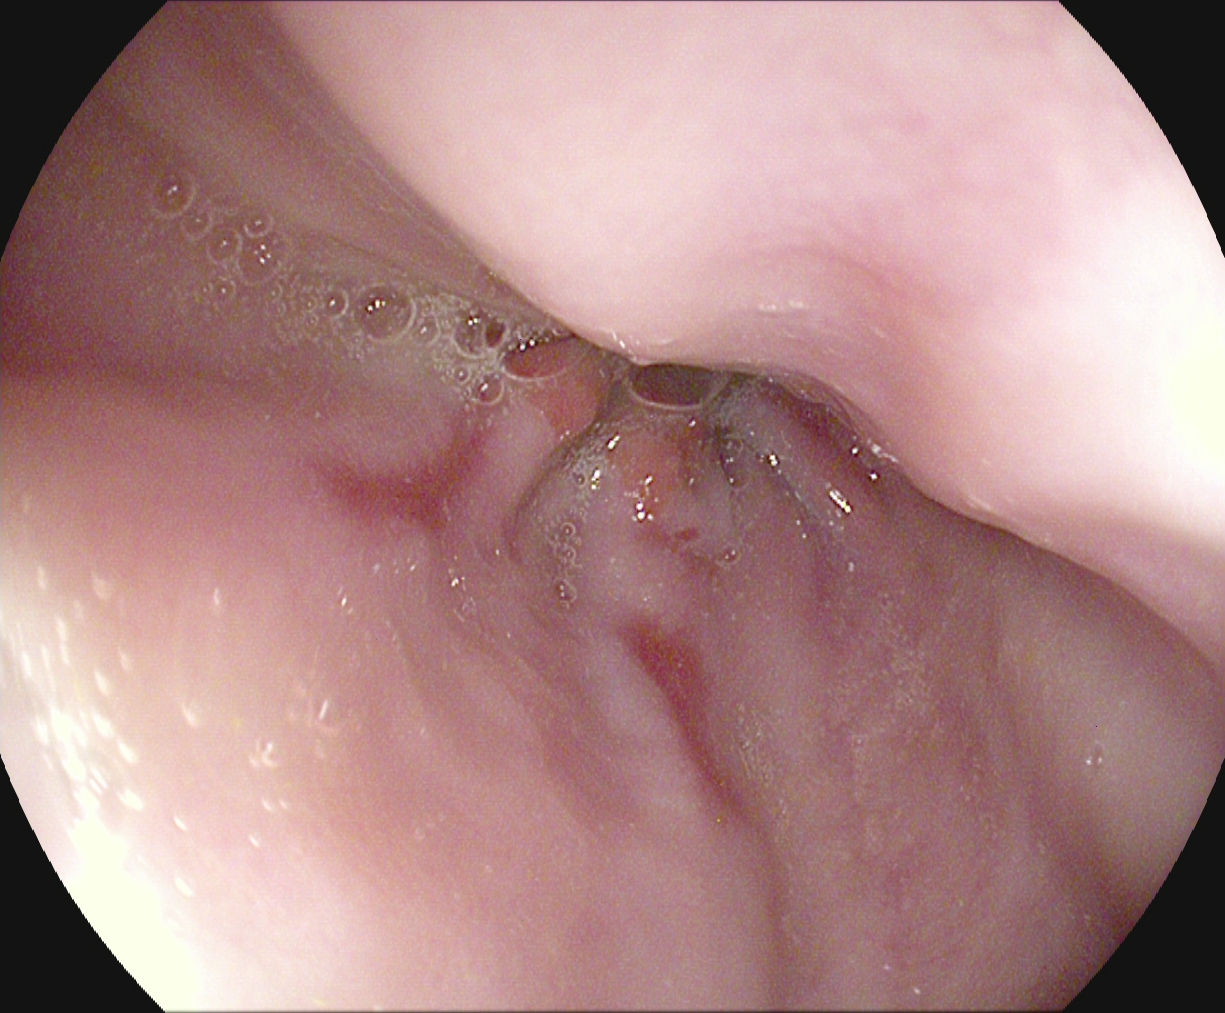Reflux esophagitis, LA grade A.